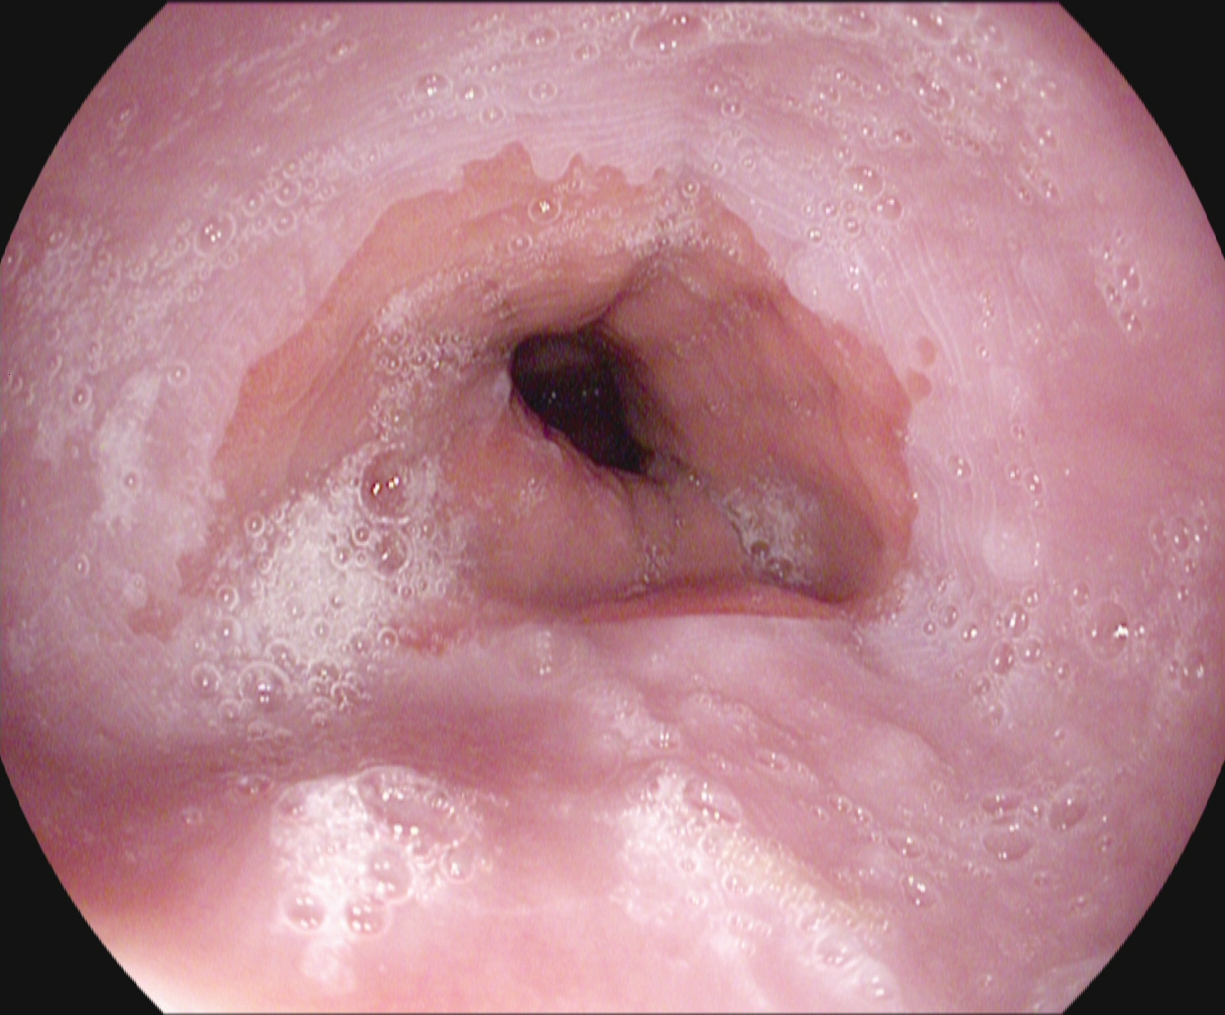Z-line (gastroesophageal junction).